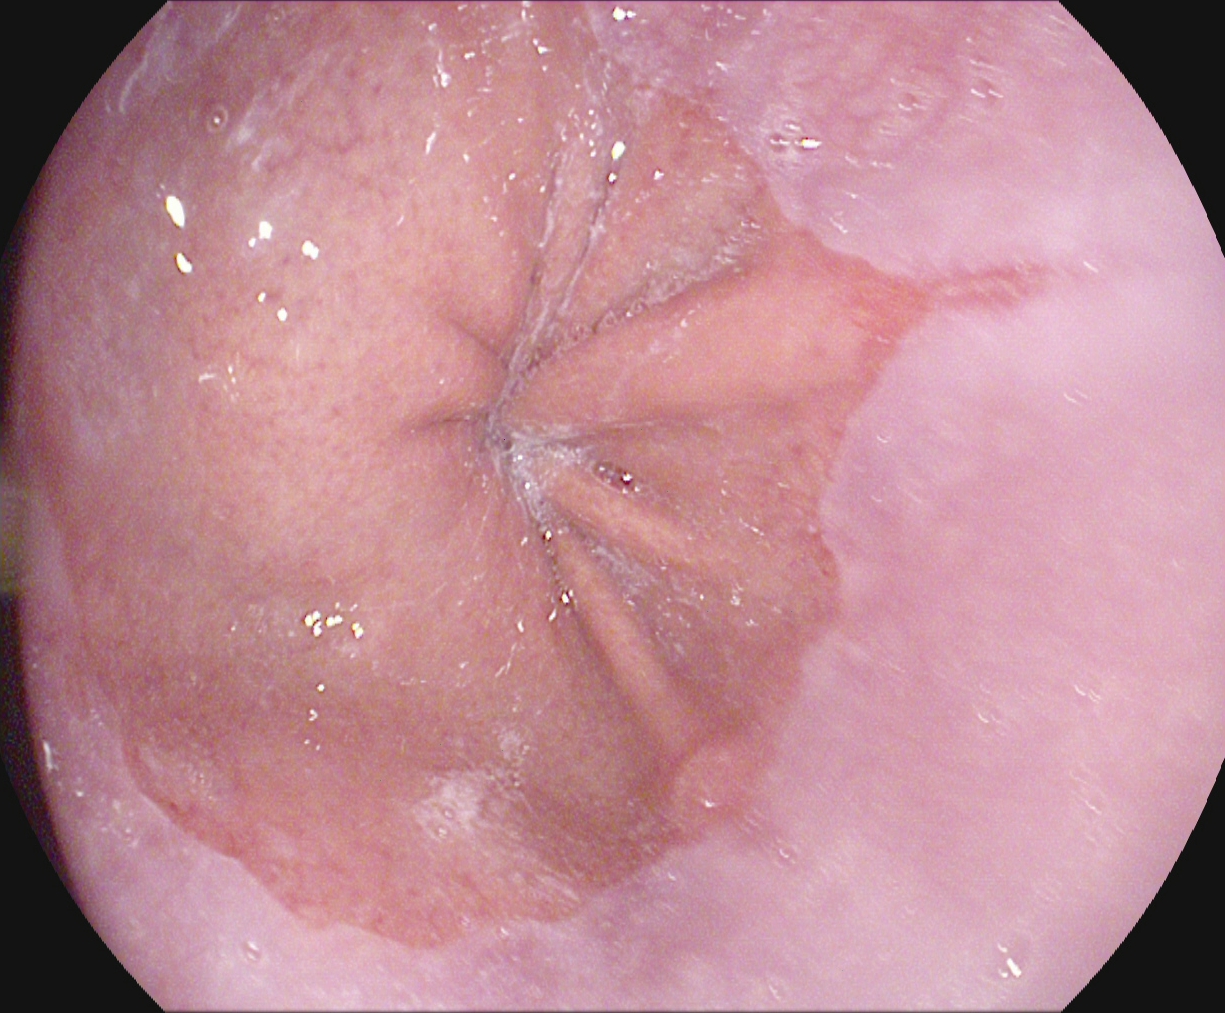modality: upper-GI endoscopy
finding: reflux esophagitis, Los Angeles grade A